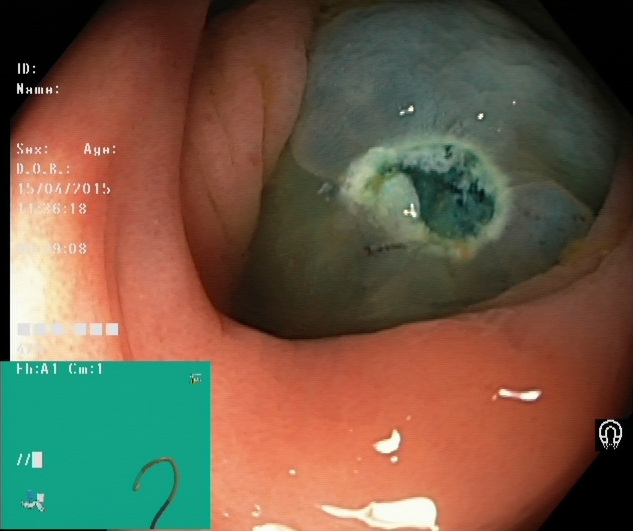Endoscopic image showing dyed resection margins (post-polypectomy).